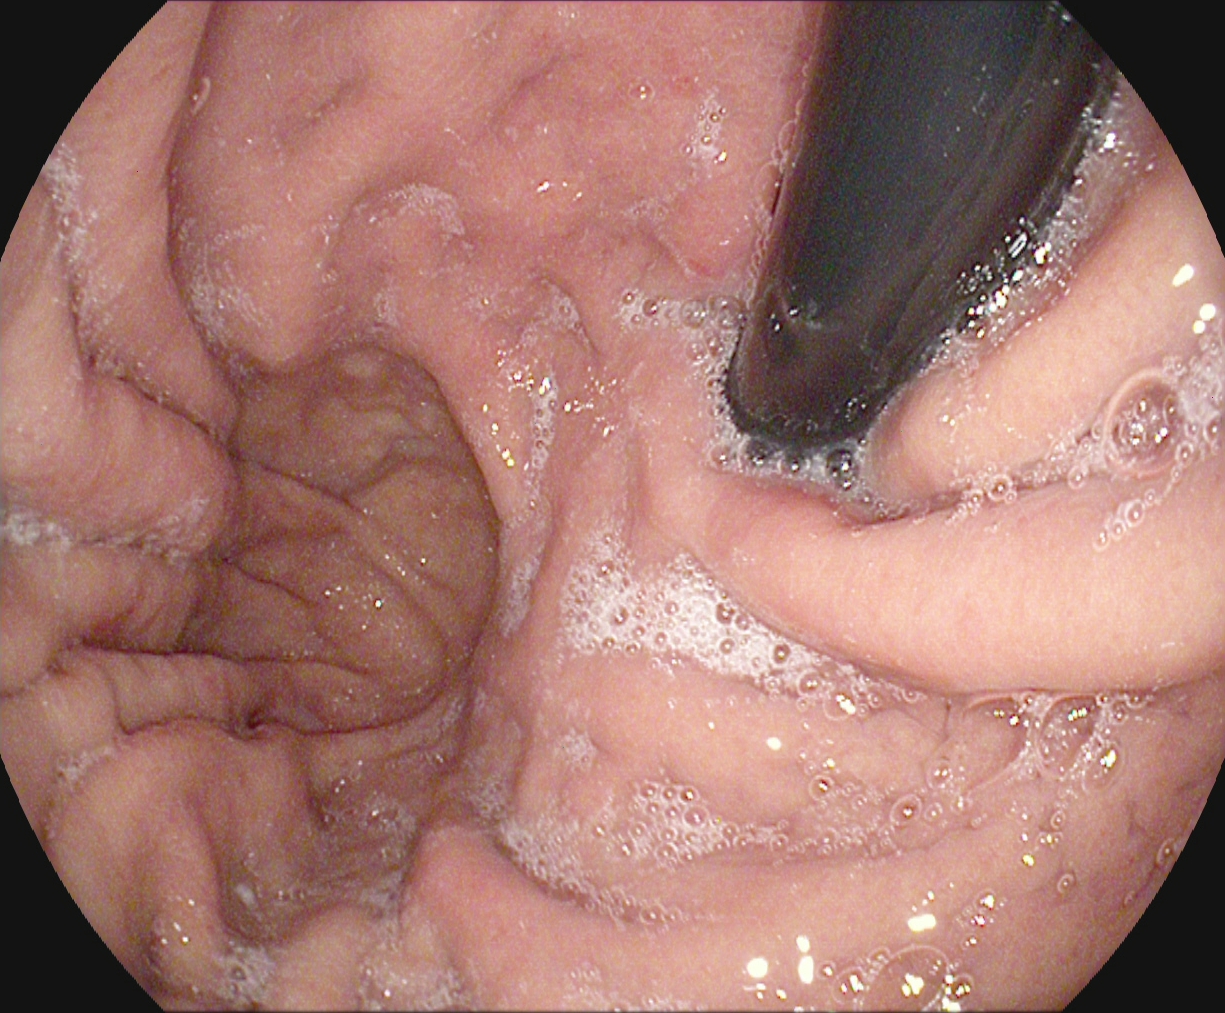PROCEDURE: Upper-GI endoscopy.
FINDINGS: Stomach in retroflexion.